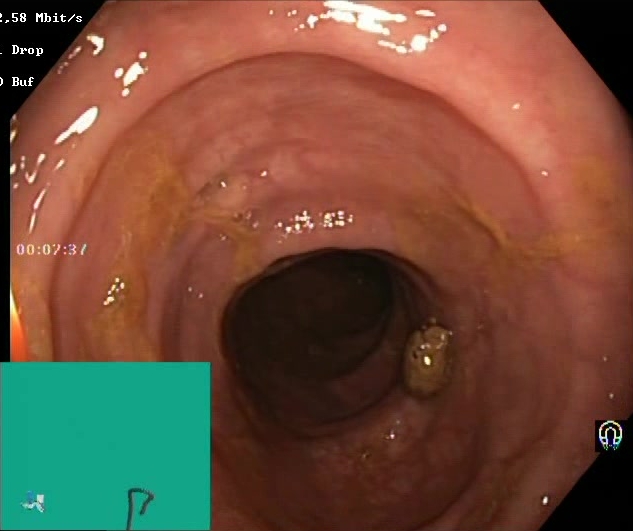{"modality": "lower gastrointestinal endoscopy", "finding": "BBPS score 2\u20133 (adequate preparation)"}